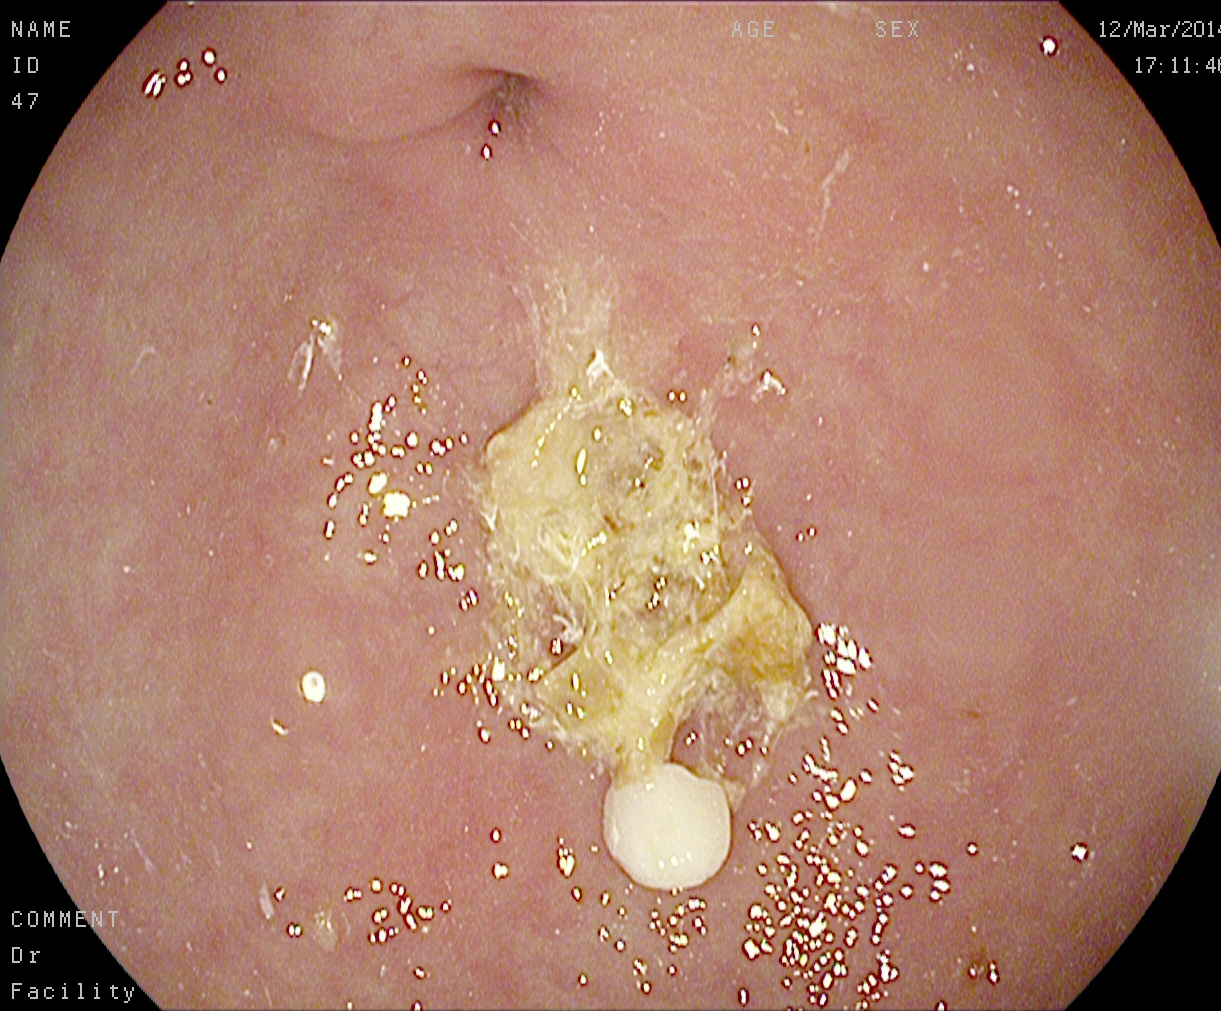pylorus.